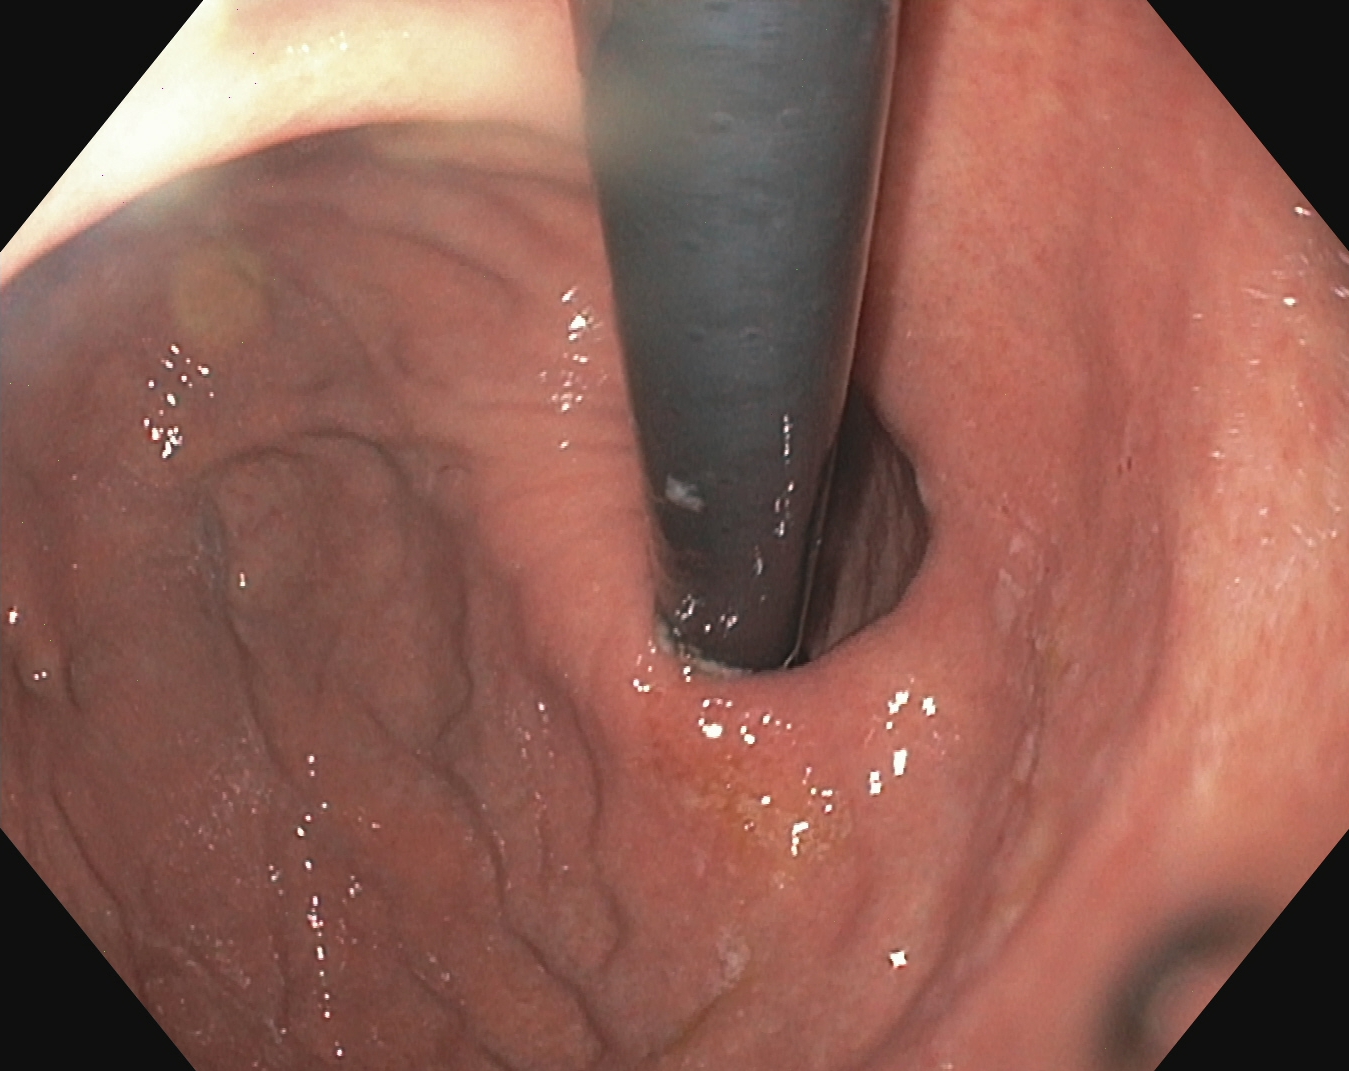Endoscopy image showing stomach in retroflexion.